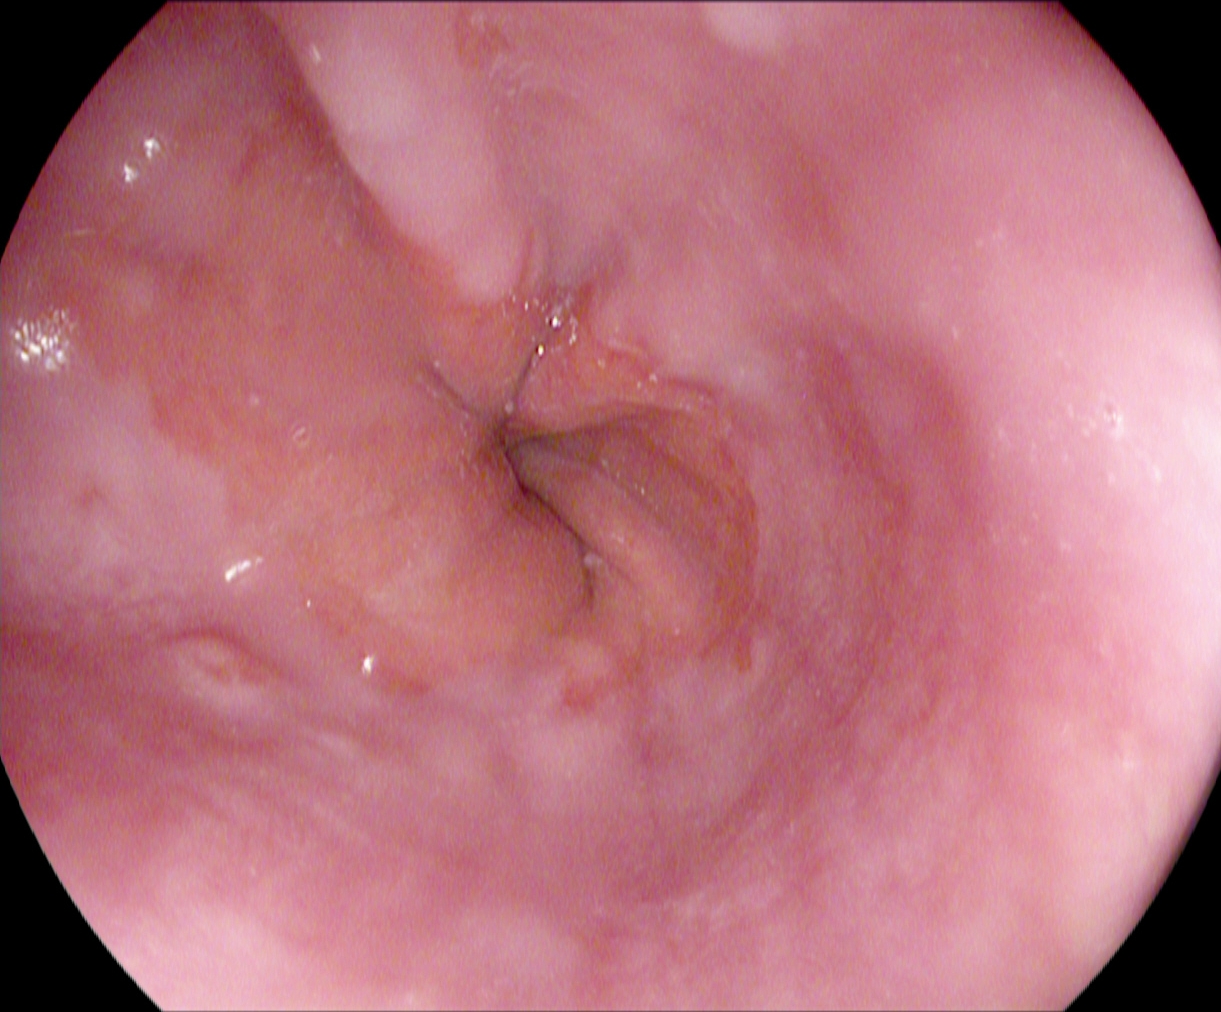{"modality": "gastroscopy", "finding": "Z-line (gastroesophageal junction)"}